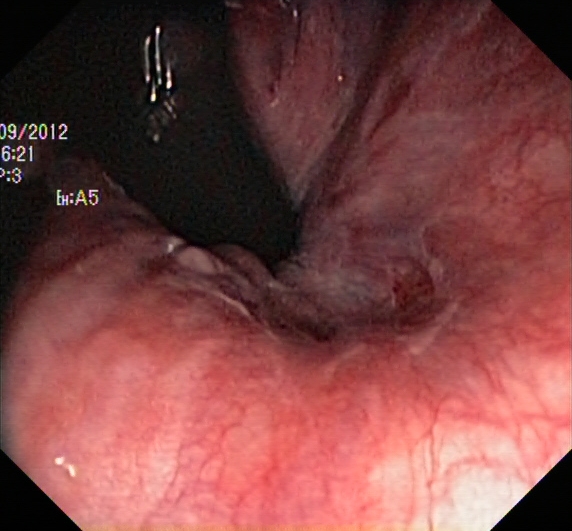modality: lower gastrointestinal endoscopy
tract: lower GI tract
finding: rectum in retroflexion